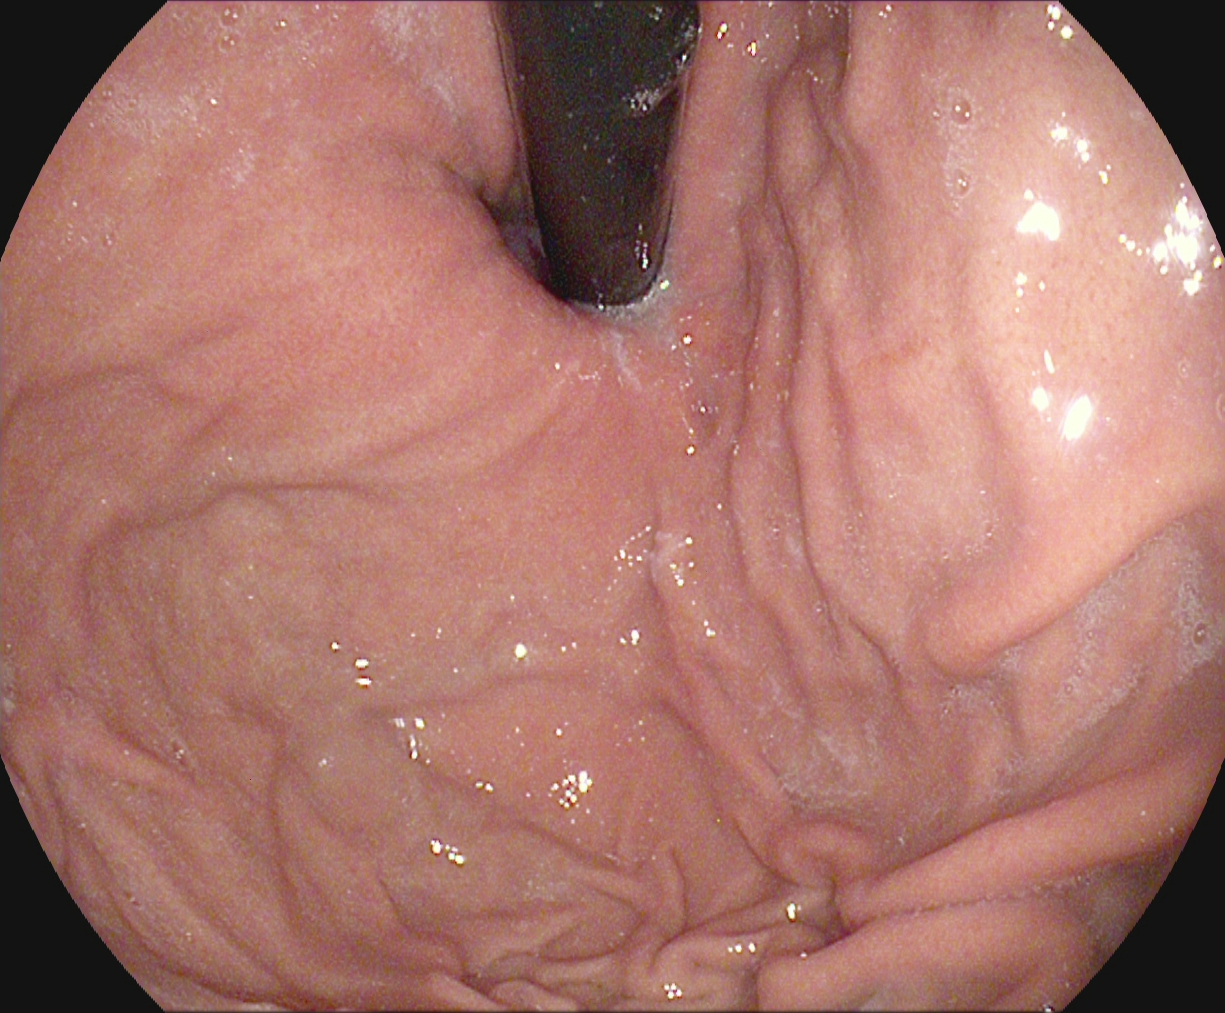This endoscopy frame shows stomach in retroflexion.